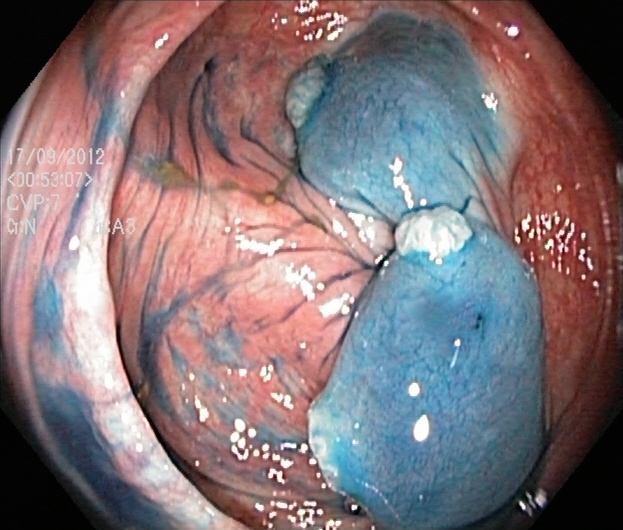This endoscopic image shows dyed and lifted polyp (pre-resection).